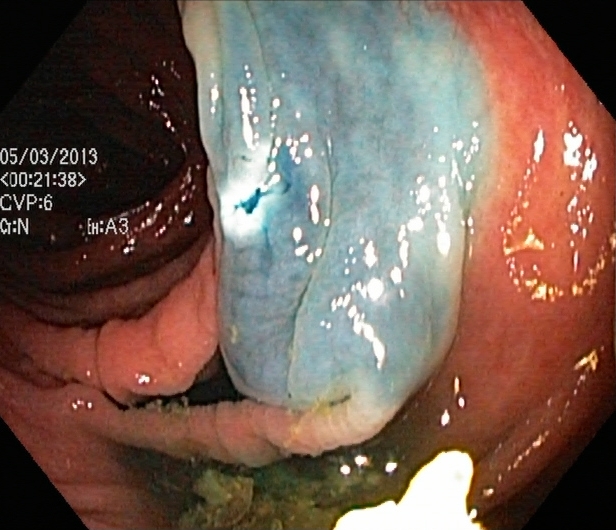Lower-GI endoscopy — dyed resection margins (post-polypectomy).